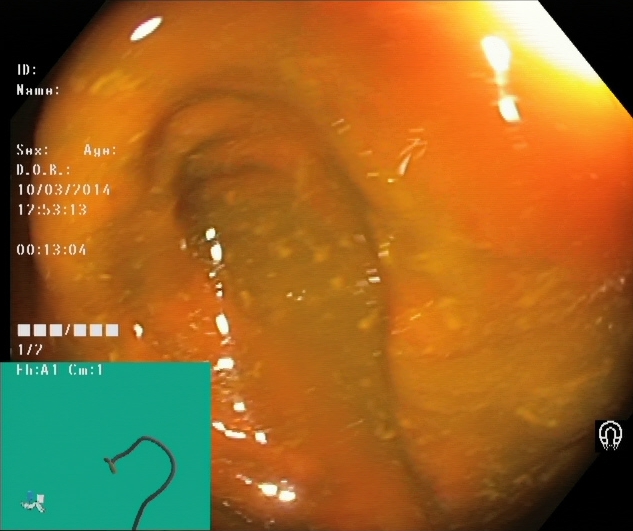This endoscopic image shows cecum.